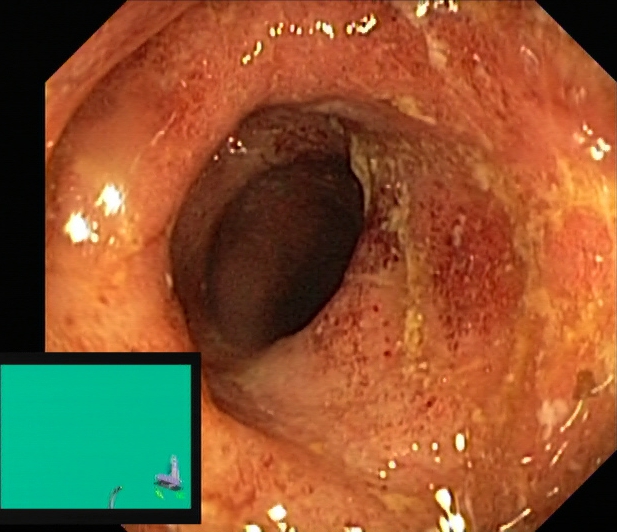{"modality": "lower-GI endoscopy", "category": "pathological finding", "finding": "ulcerative colitis, Mayo endoscopic subscore 2\u20133"}